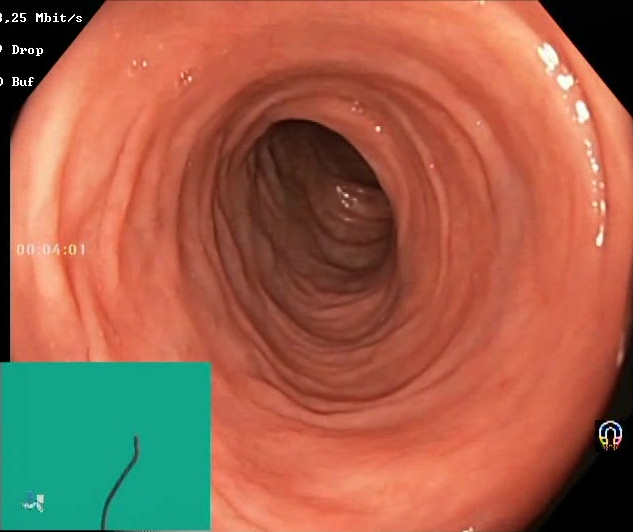Lower gastrointestinal endoscopy. Tract: lower GI tract. Finding: BBPS score 2–3 (adequate preparation).